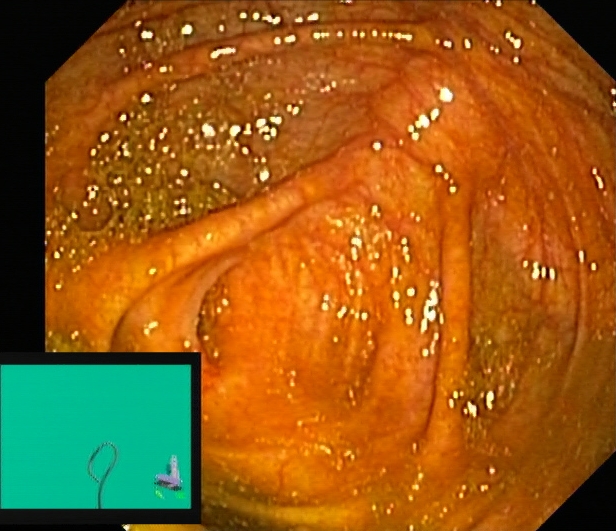Lower gastrointestinal endoscopy. Tract: lower GI tract. Finding: cecum.